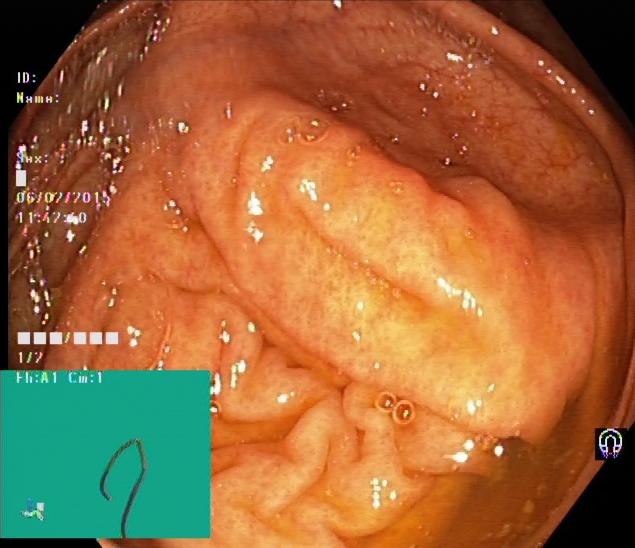modality: lower-GI endoscopy; tract: lower GI tract; finding: cecum